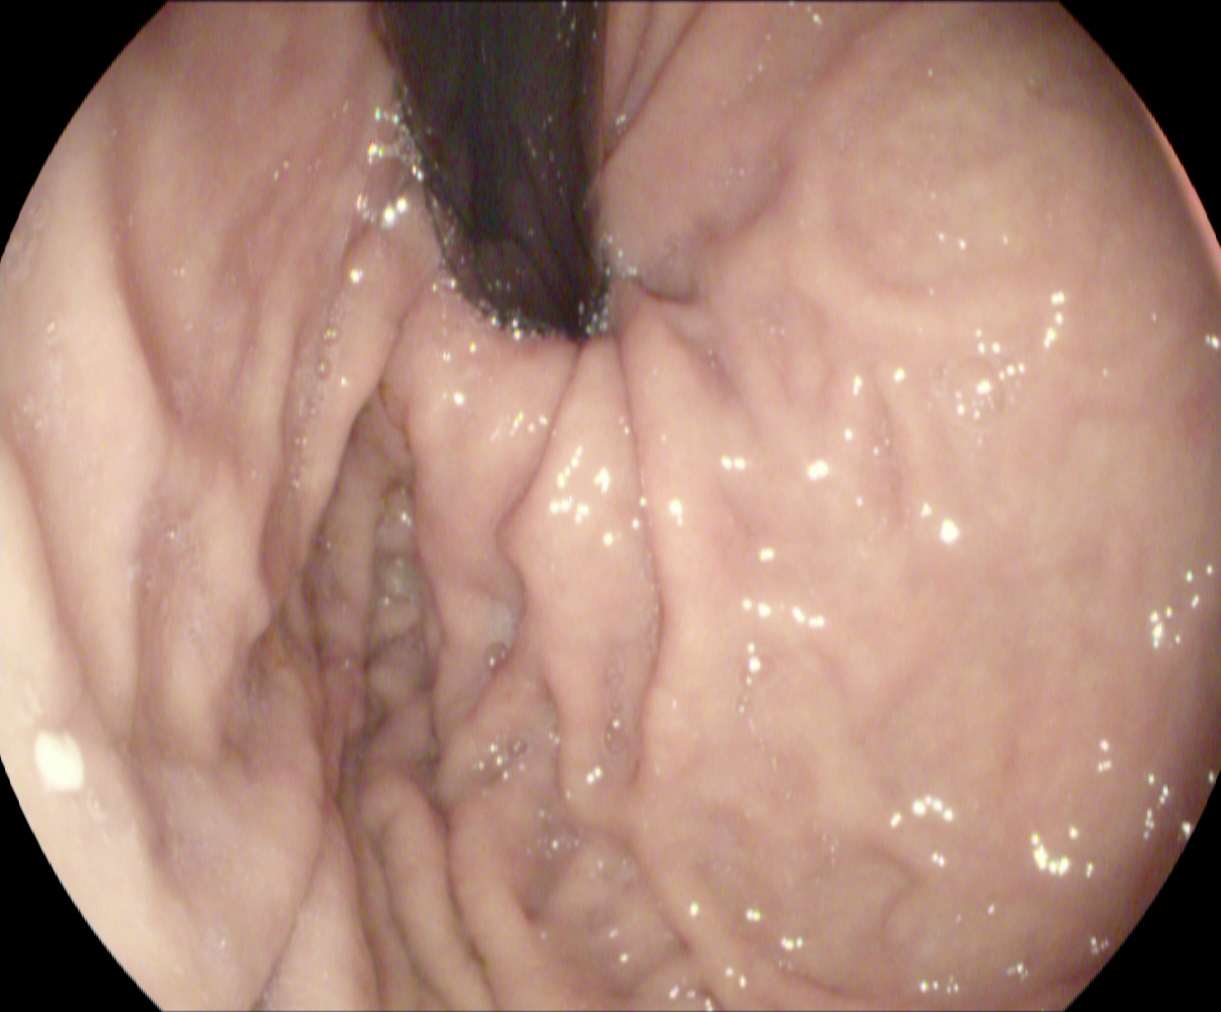Upper-GI endoscopy. Anatomical landmark. Finding: stomach in retroflexion.